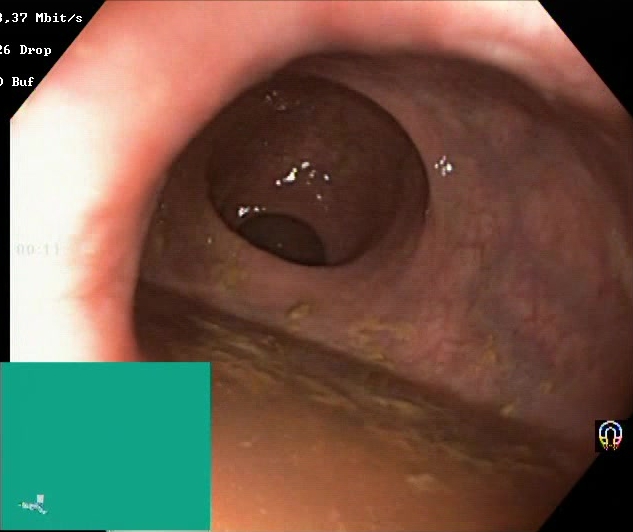This endoscopic image of the lower GI tract shows BBPS score 0–1 (inadequate preparation).